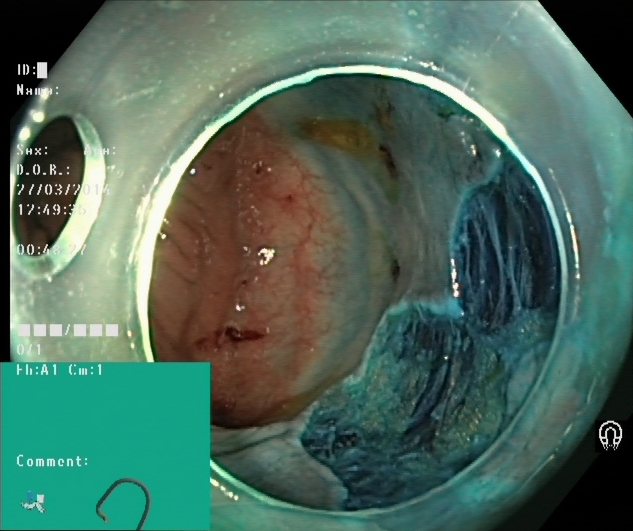{"modality": "lower-GI endoscopy", "finding": "dyed resection margins (post-polypectomy)"}